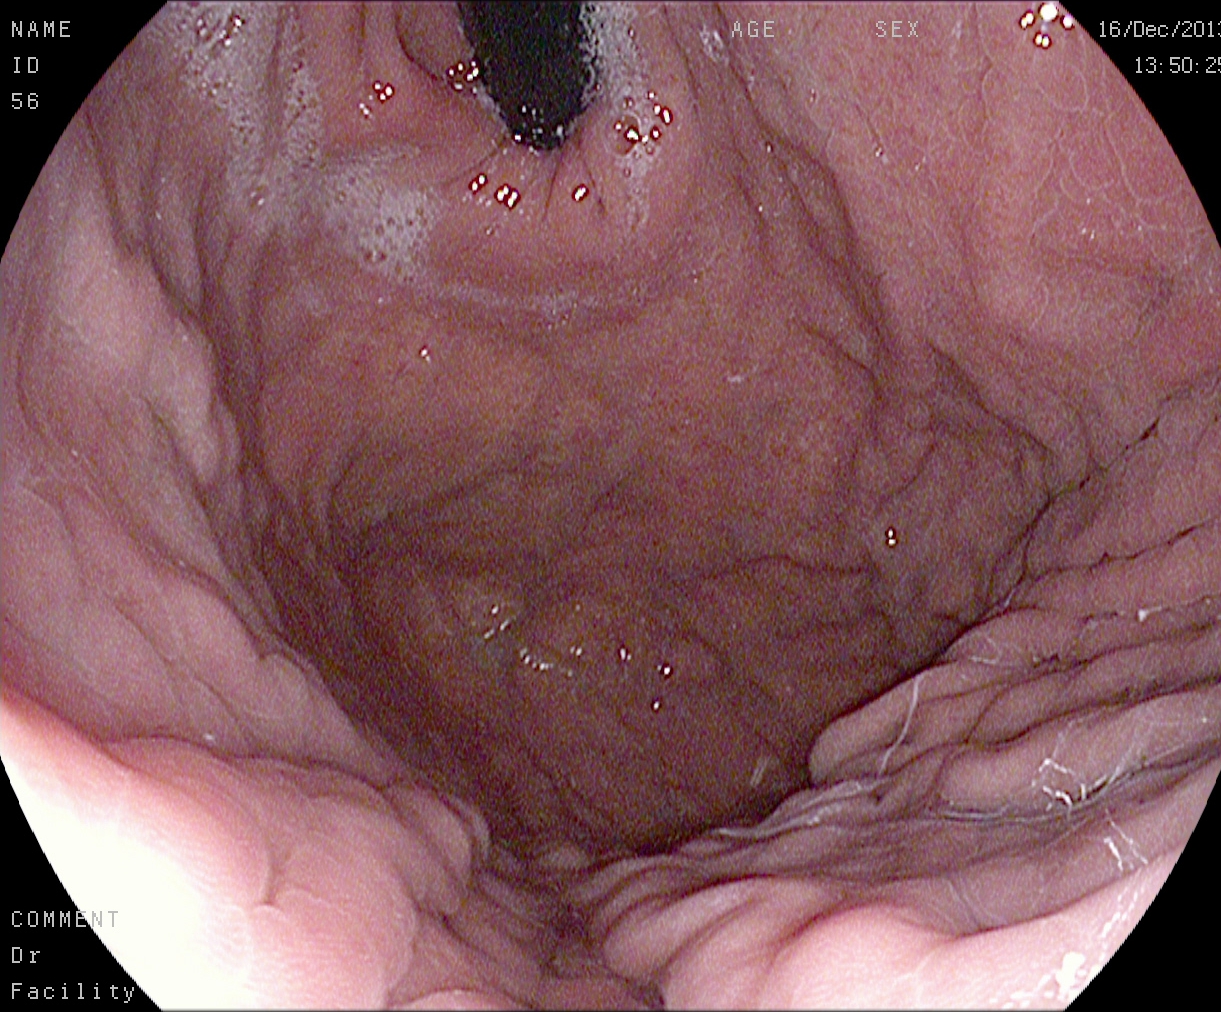Upper-GI endoscopy. Tract: upper GI tract. Anatomical landmark. Finding: stomach in retroflexion.